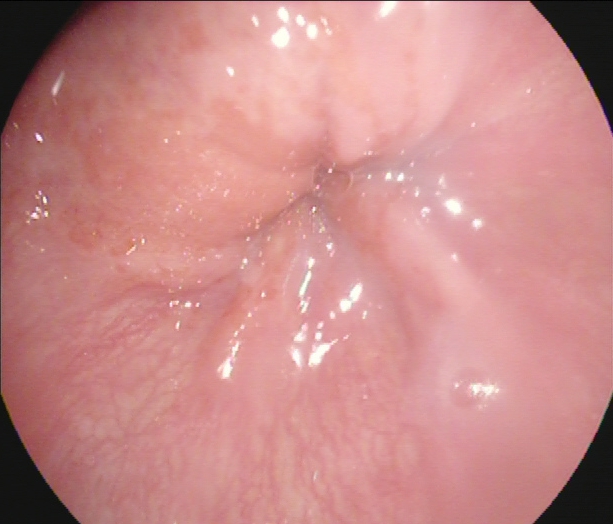This endoscopic image shows Z-line (gastroesophageal junction).